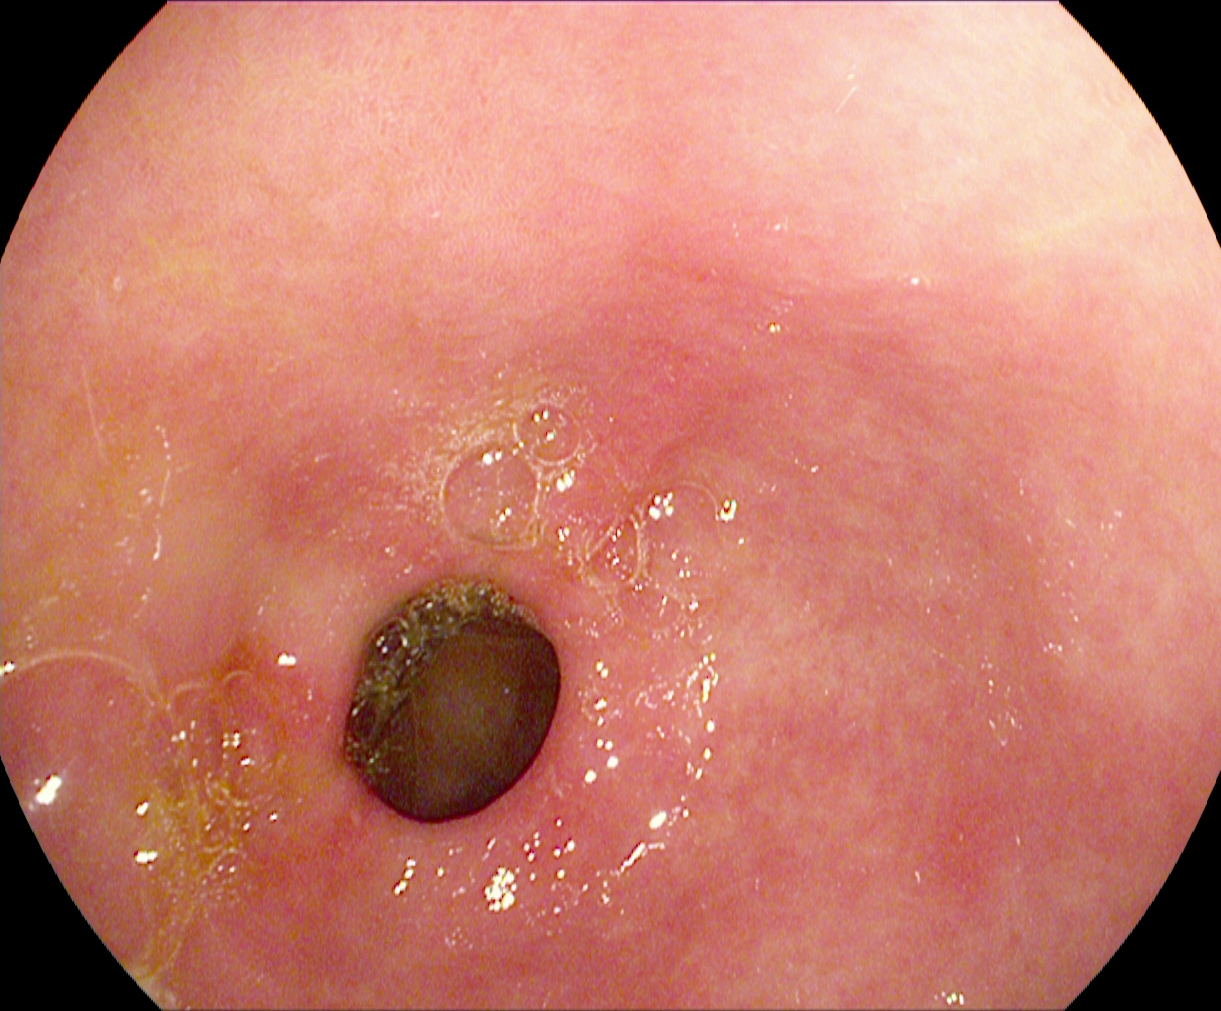Endoscopic frame showing pylorus.